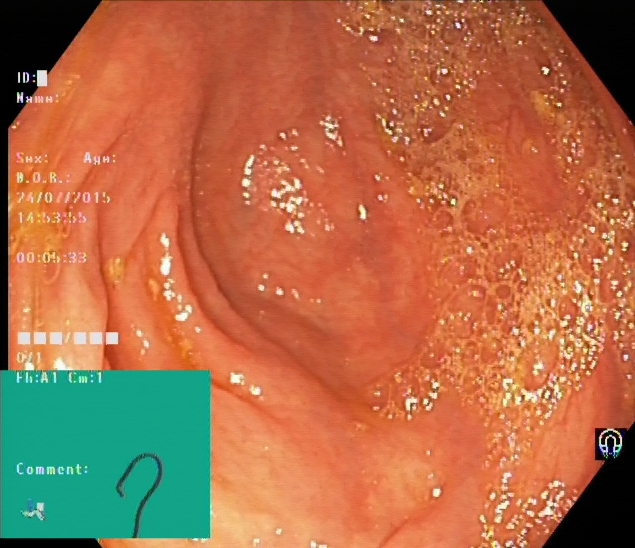Colonoscopy — cecum.